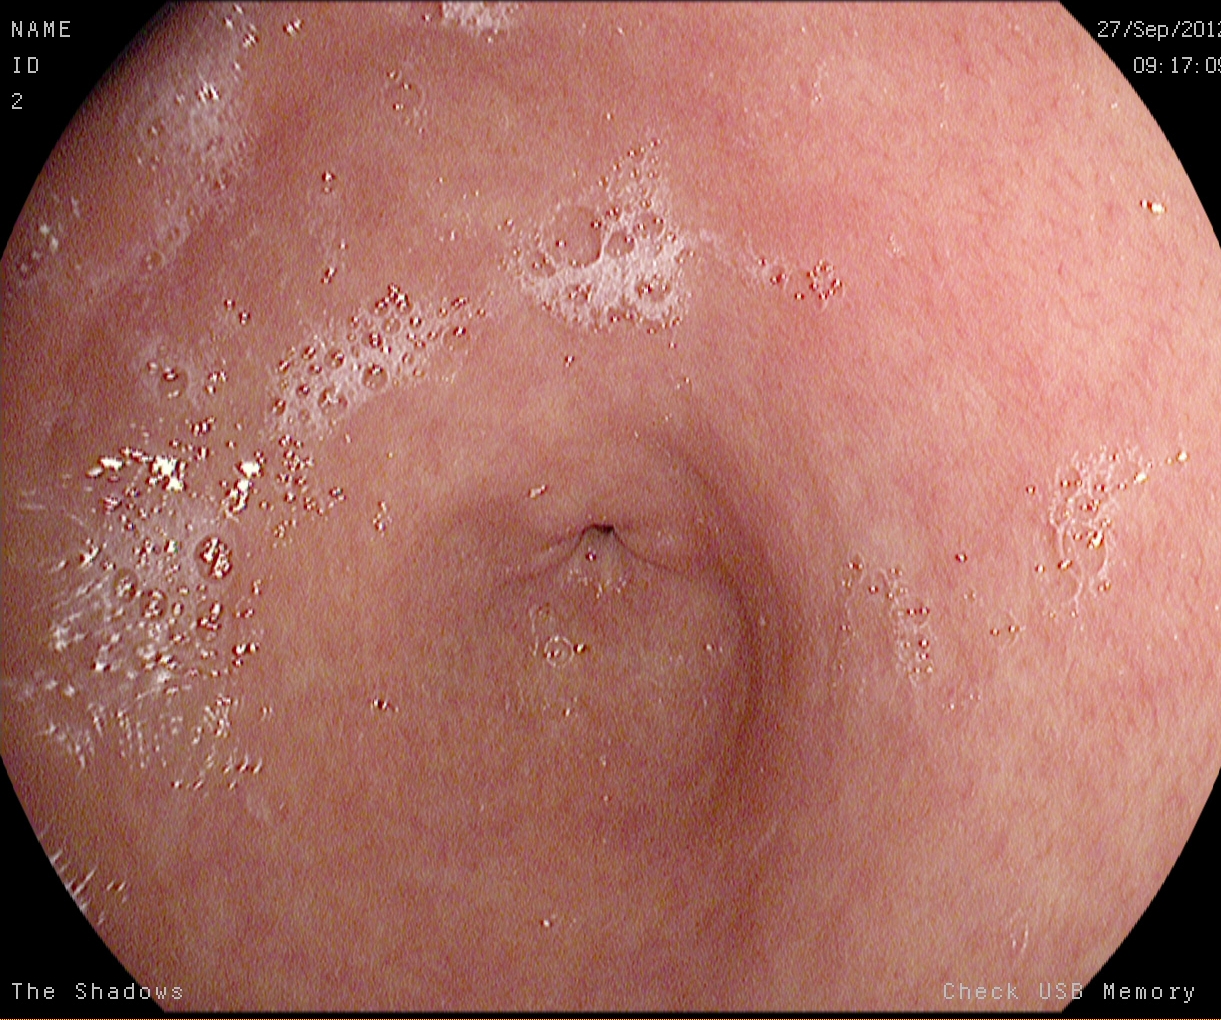Pylorus.